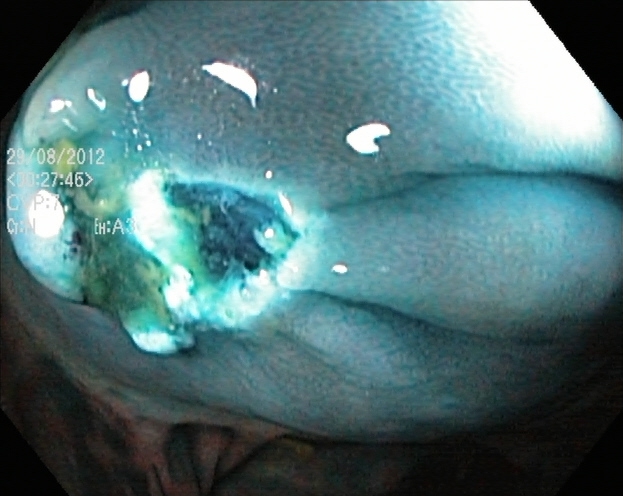Dyed resection margins (post-polypectomy).